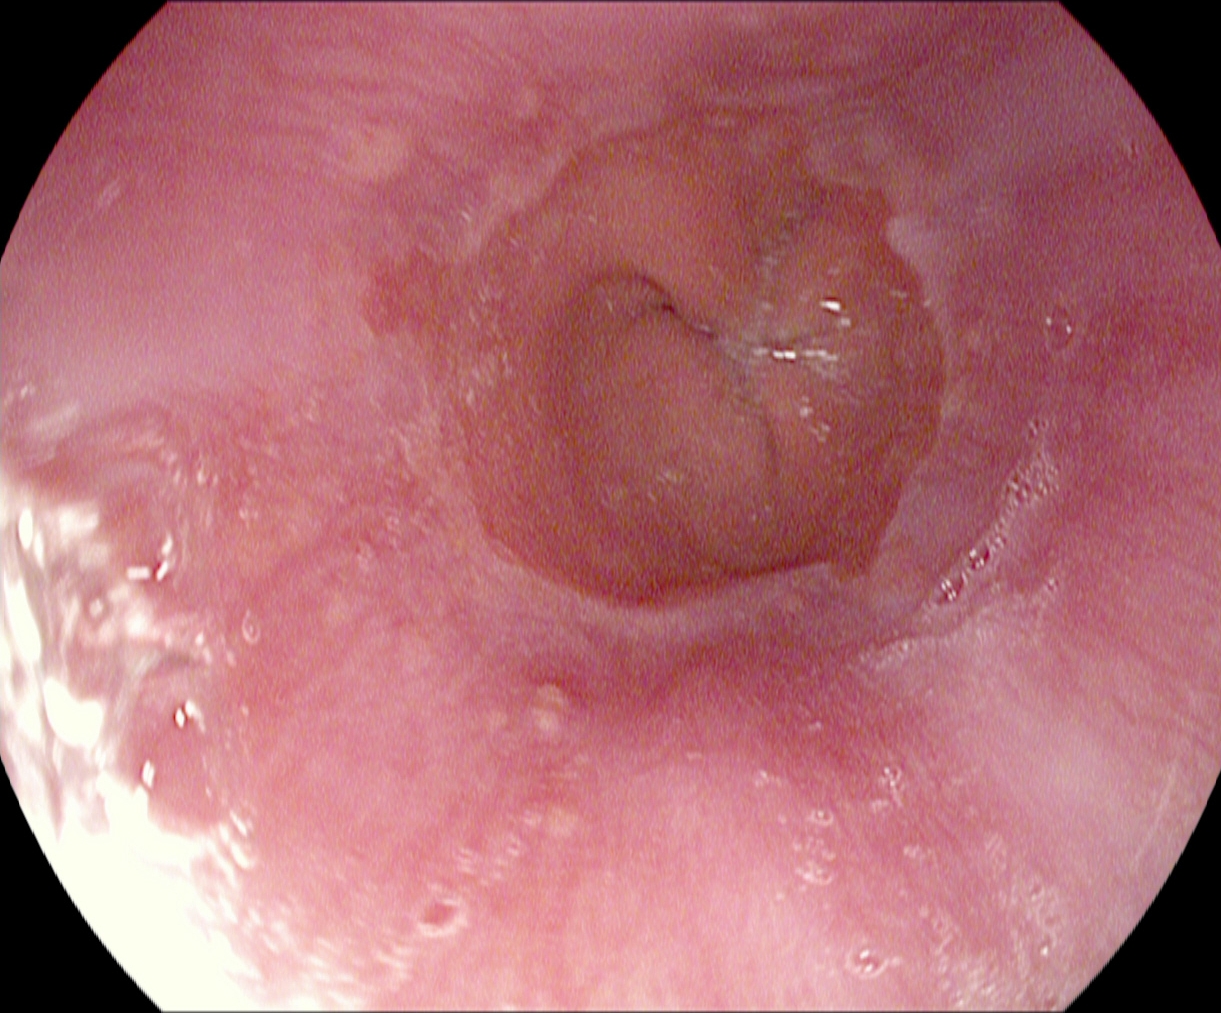This endoscopic image of the upper GI tract shows Z-line (gastroesophageal junction).